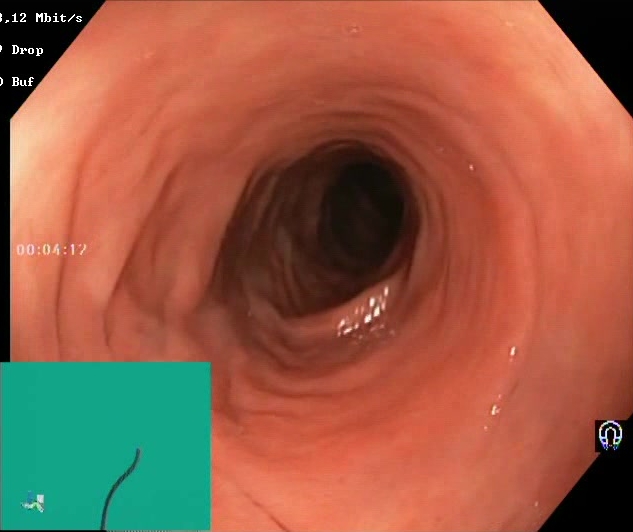This endoscopy frame shows Boston Bowel Preparation Scale score 2–3 (adequate preparation).